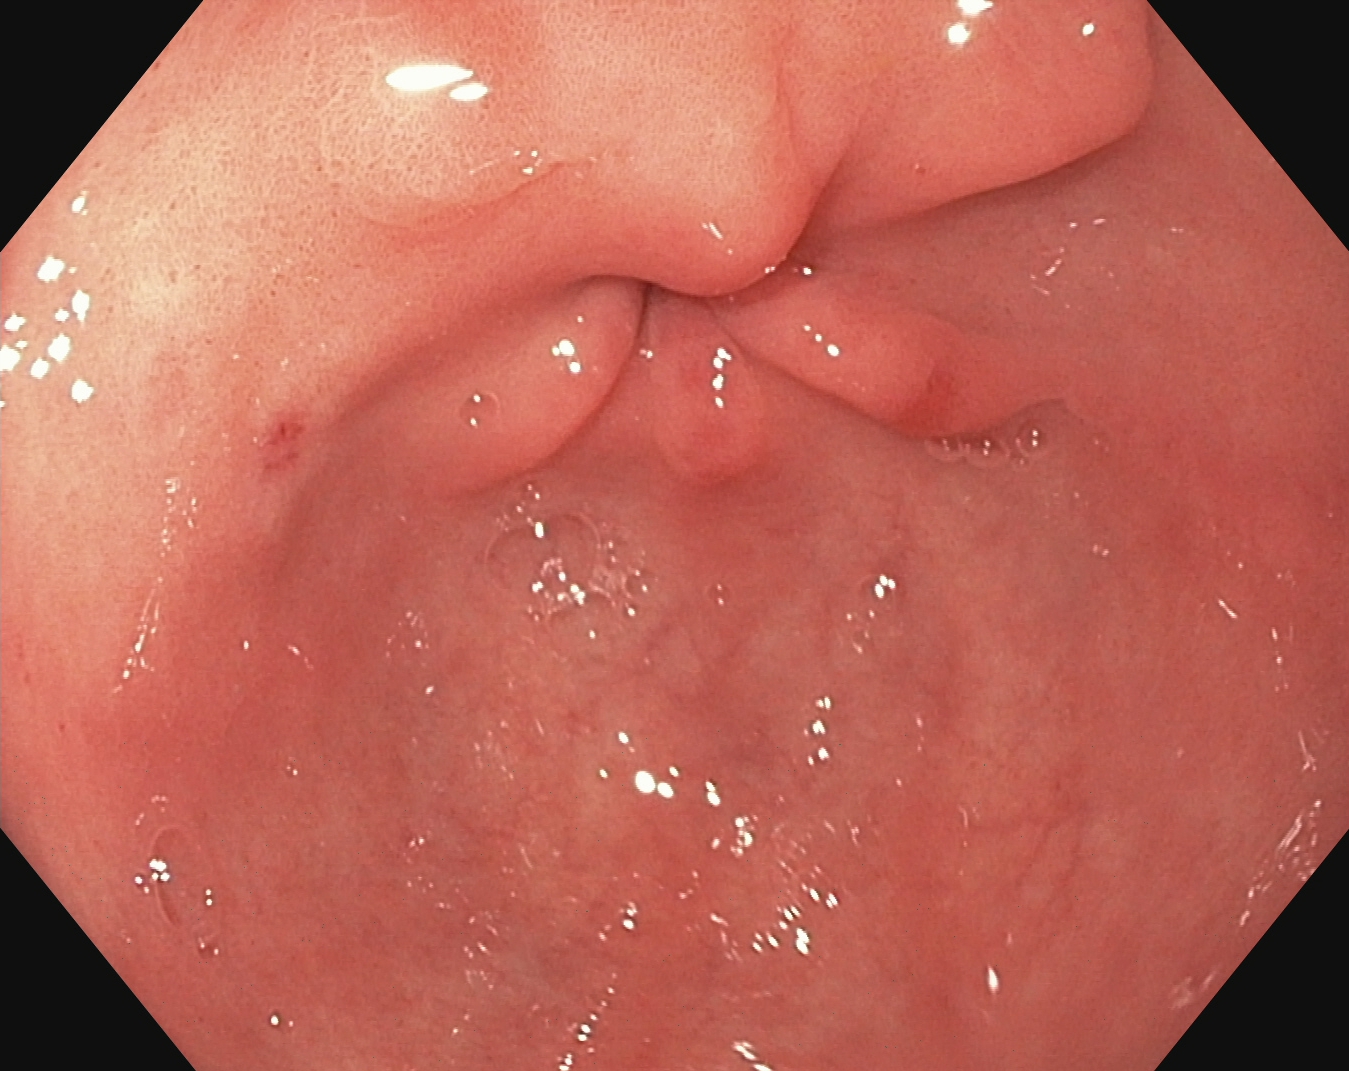Esophagogastroduodenoscopy. Finding: pylorus.